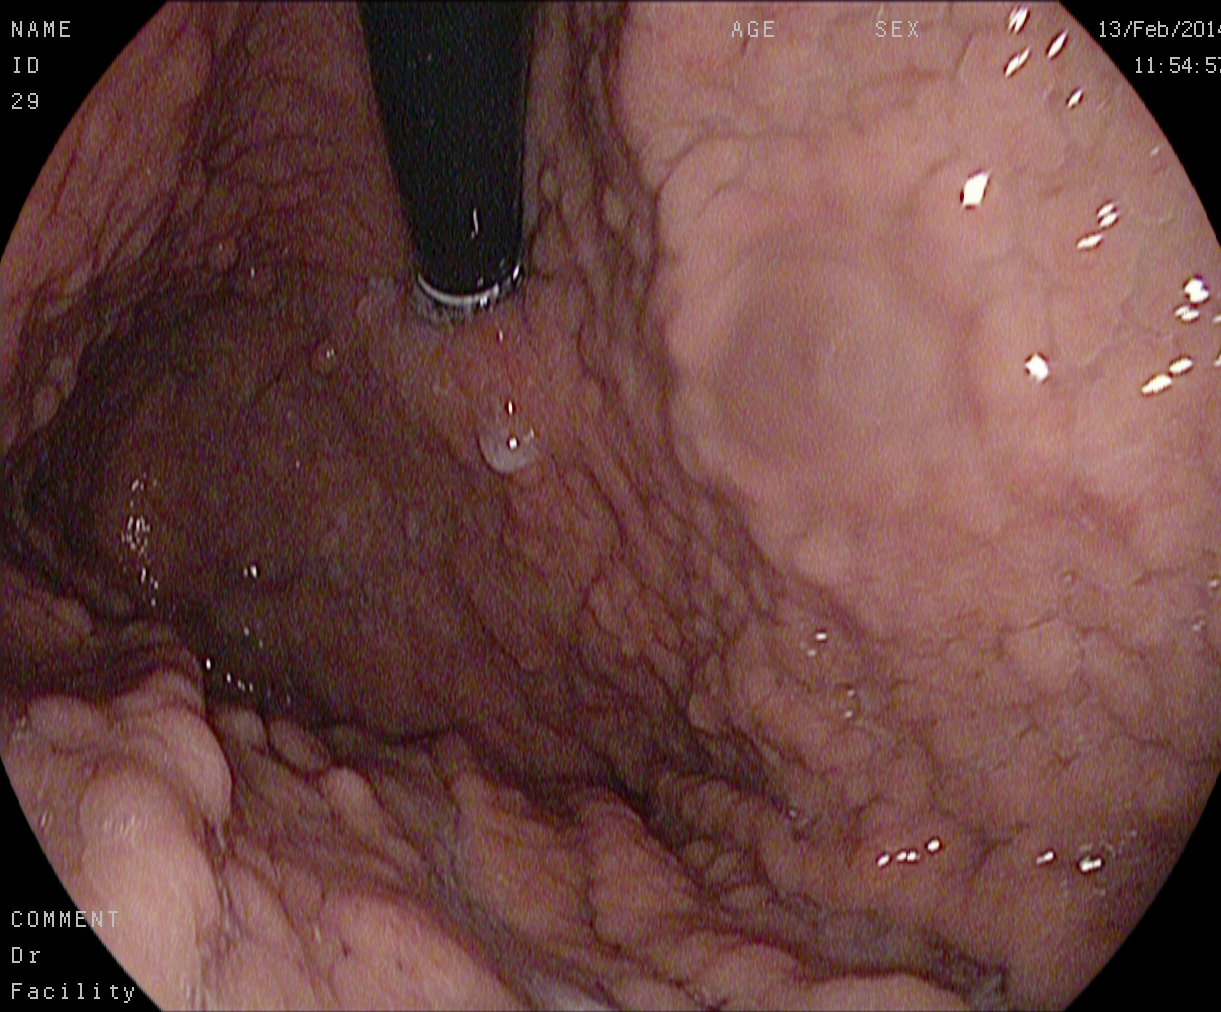This endoscopy frame shows stomach in retroflexion.